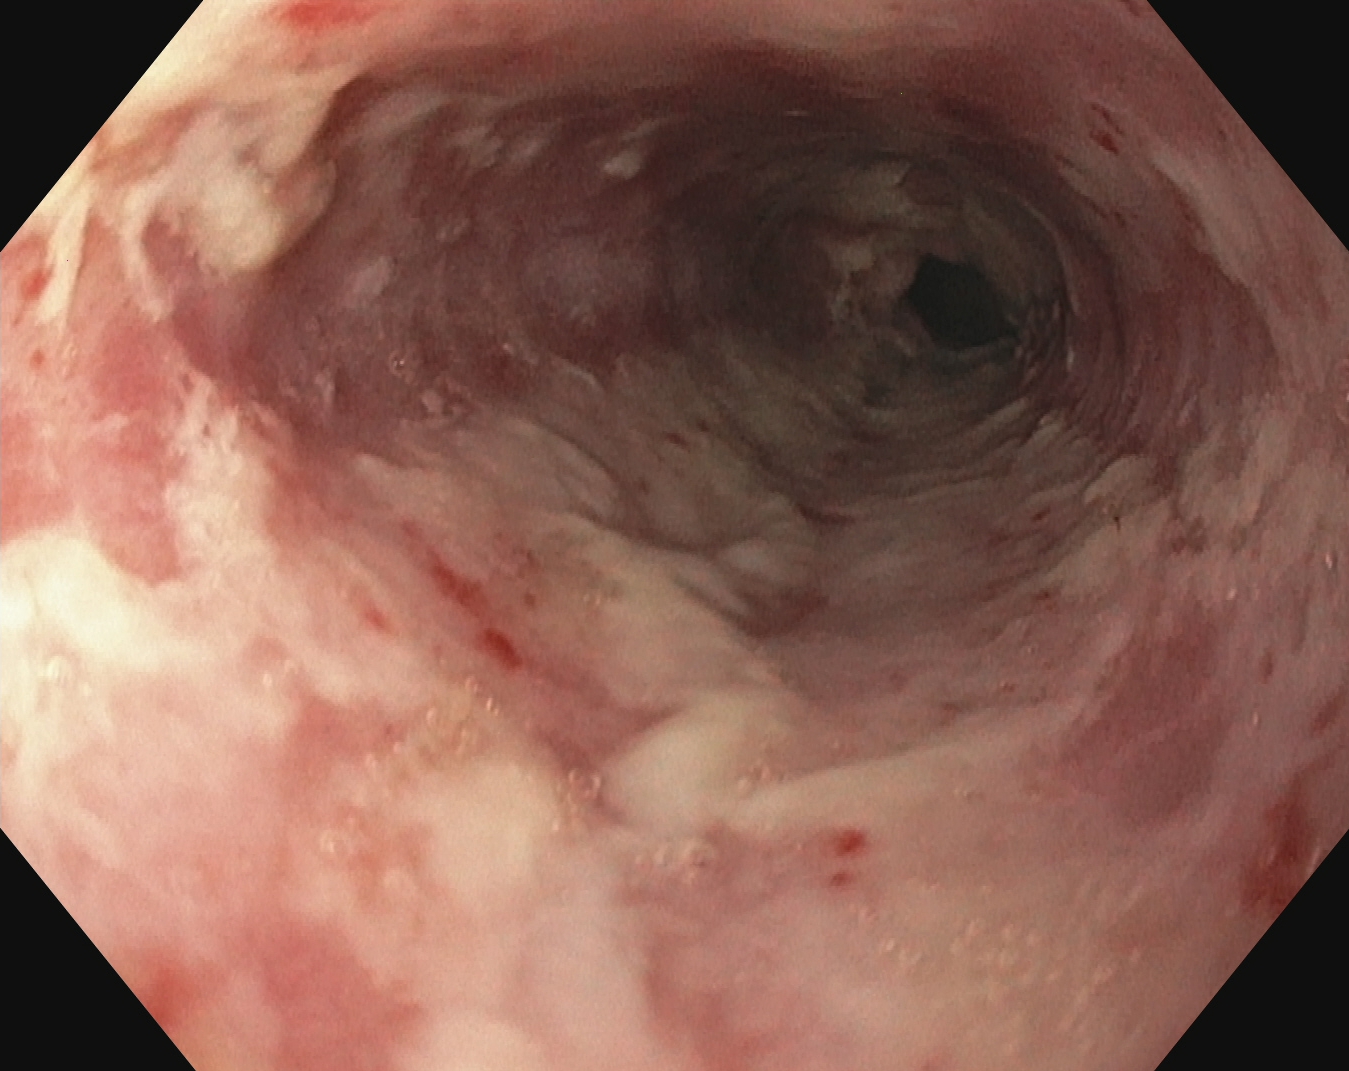PROCEDURE: EGD.
CATEGORY: Pathological finding.
FINDINGS: Reflux esophagitis, Los Angeles grade B–D.